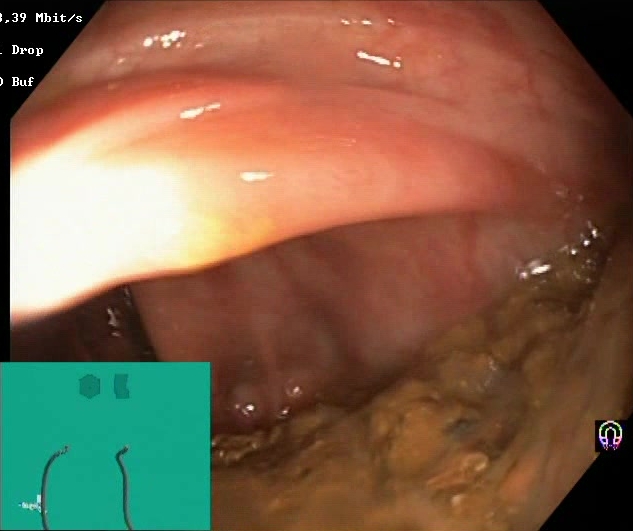{"modality": "lower-GI endoscopy", "tract": "lower GI tract", "finding": "Boston Bowel Preparation Scale score 0\u20131 (inadequate preparation)"}